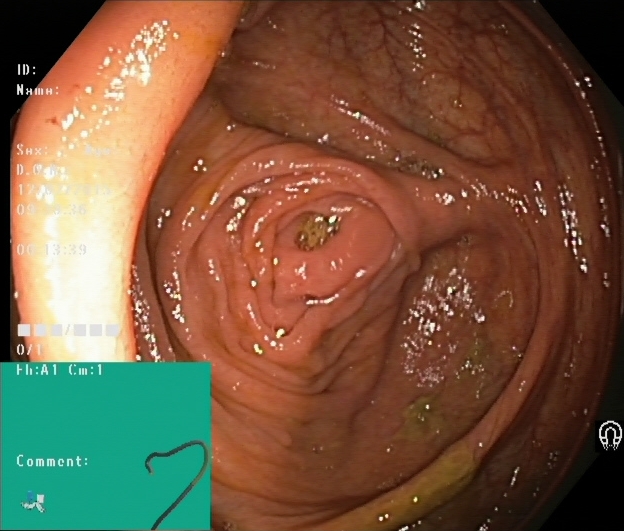This endoscopy frame of the lower GI tract shows cecum.